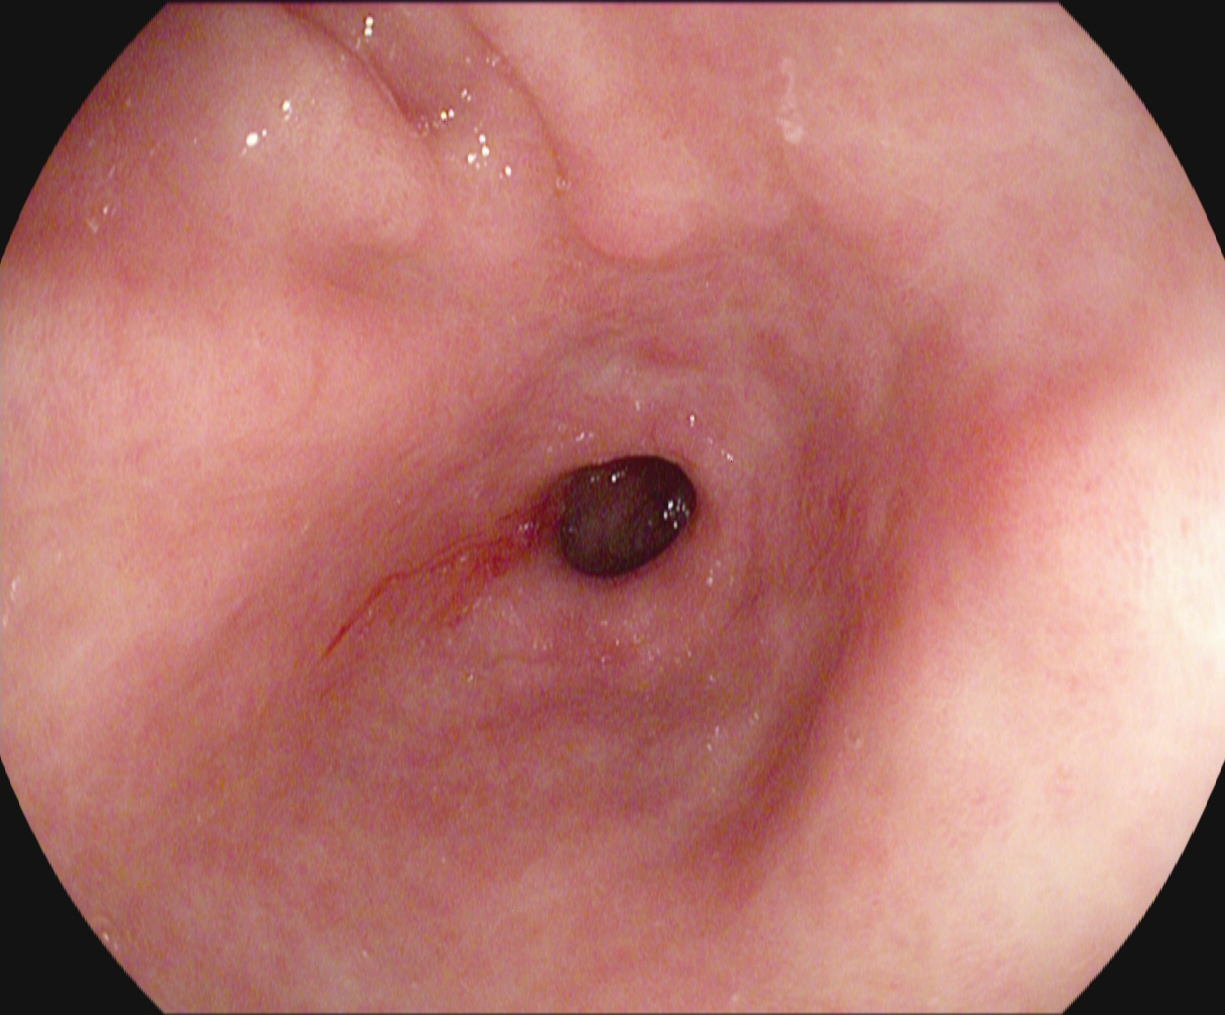EGD. Tract: upper GI tract. Finding: pylorus.